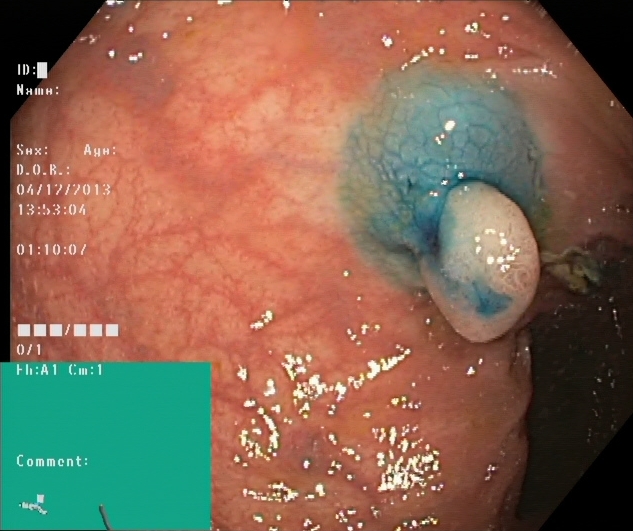Lower-GI endoscopy — dyed and lifted polyp (pre-resection).